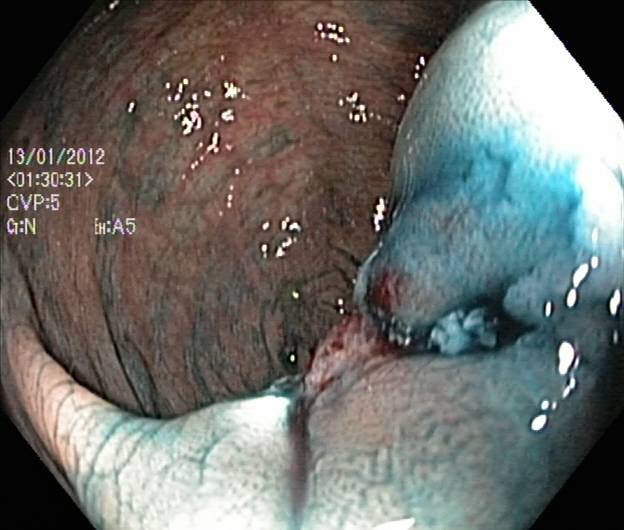Dyed resection margins (post-polypectomy).